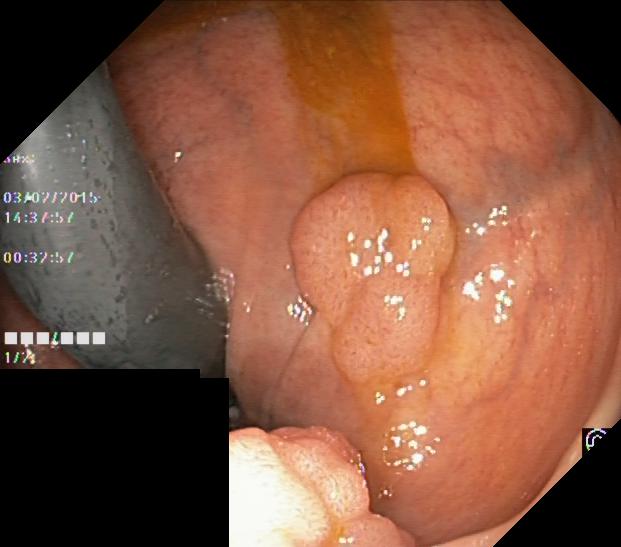modality: lower-GI endoscopy; finding: colorectal polyp(s)